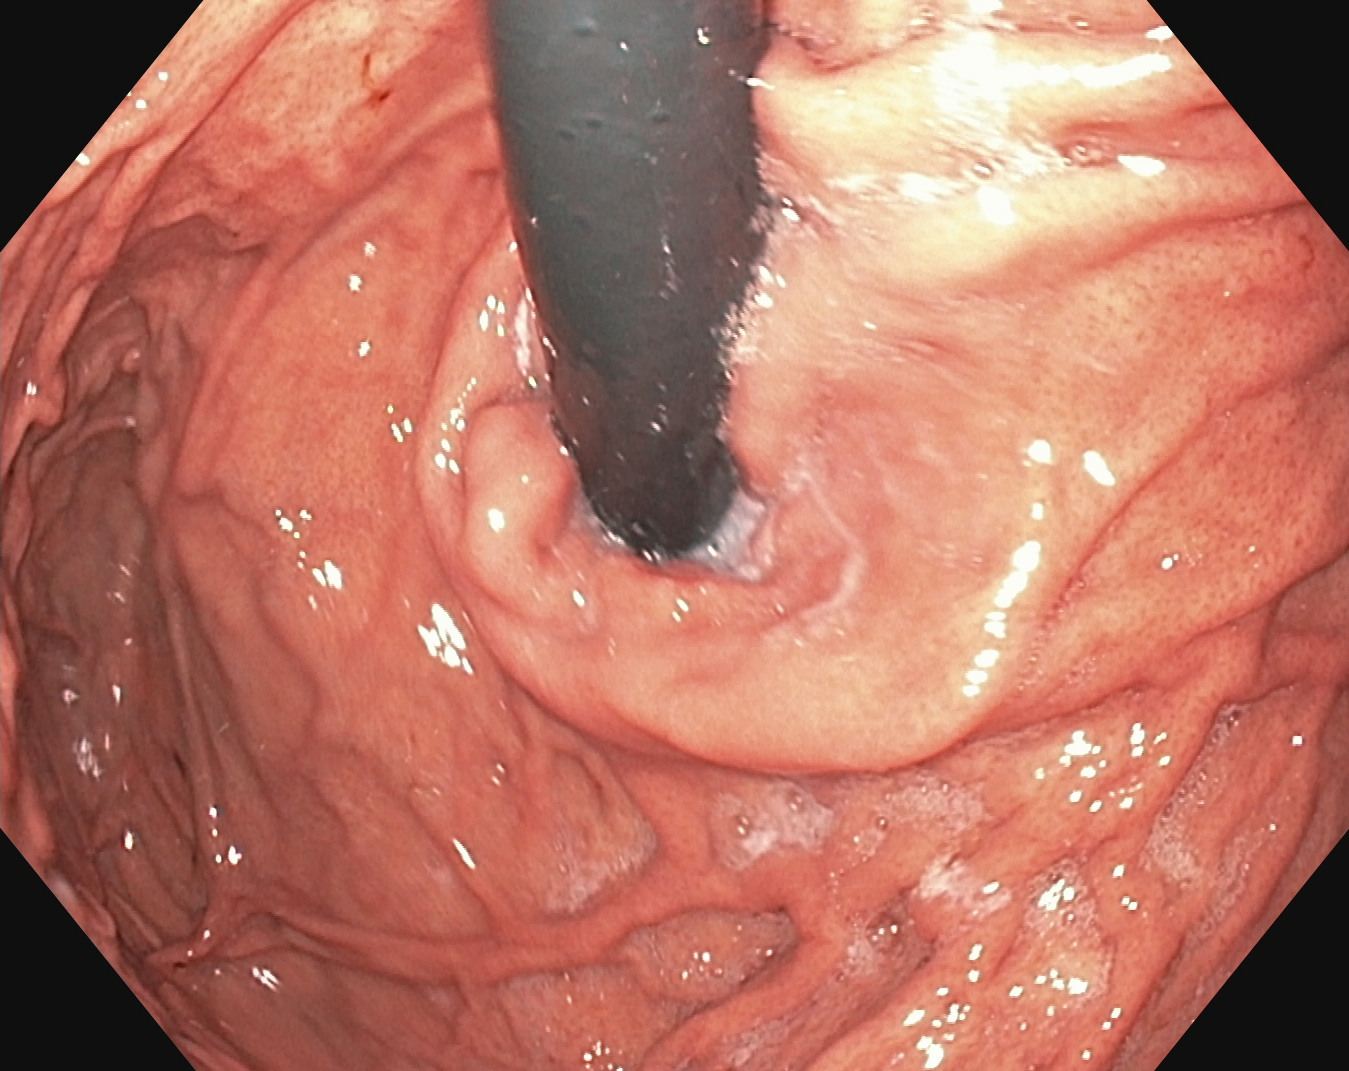EGD. Tract: upper GI tract. Anatomical landmark. Finding: stomach in retroflexion.